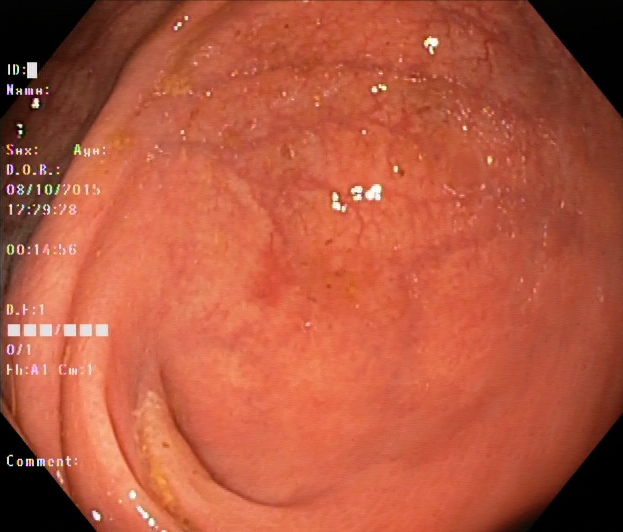{"modality": "lower-GI endoscopy", "tract": "lower GI tract", "category": "anatomical landmark", "finding": "cecum"}